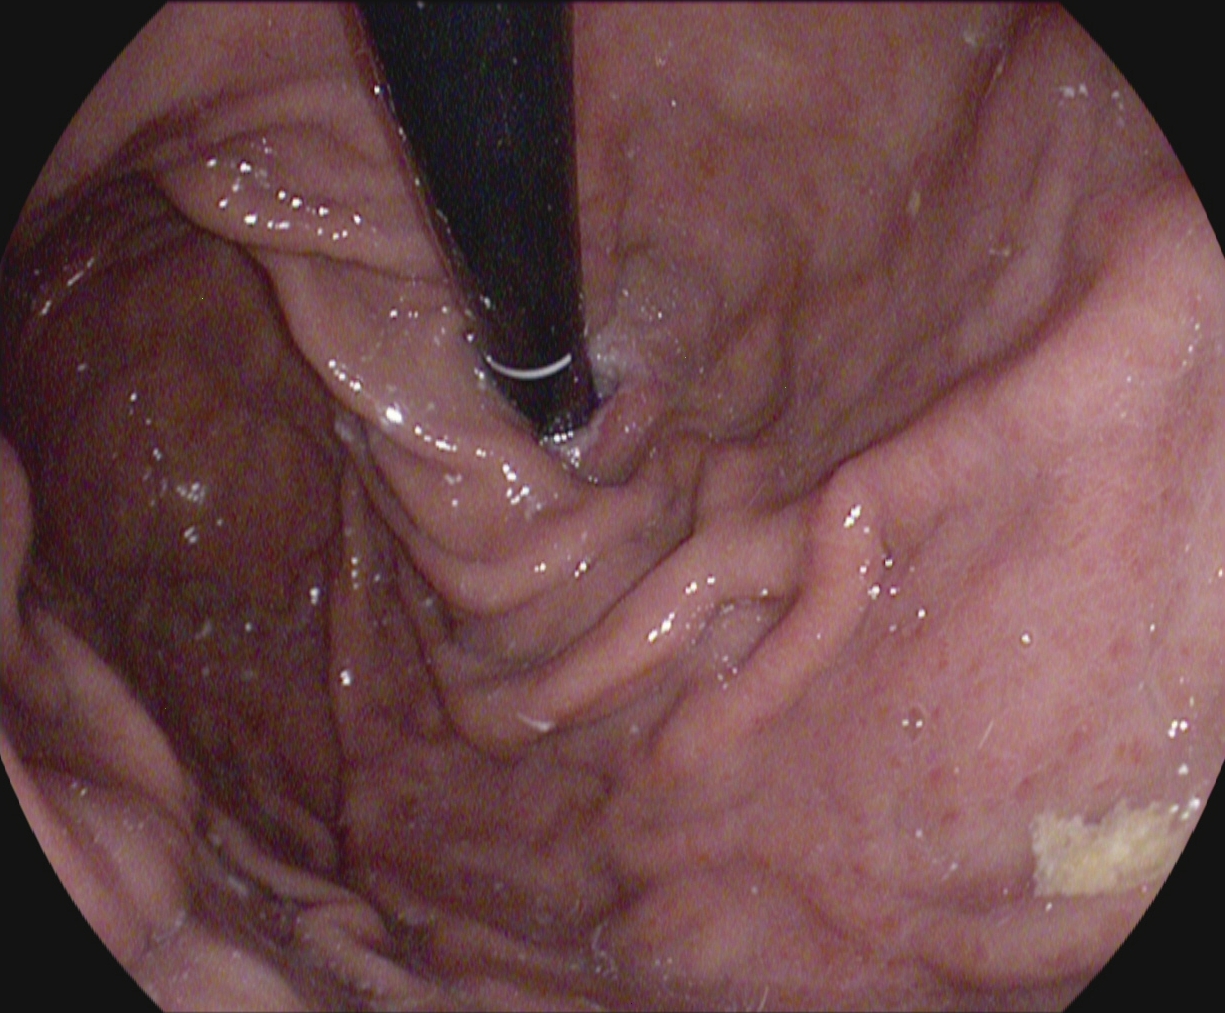{"modality": "upper-GI endoscopy", "finding": "stomach in retroflexion"}